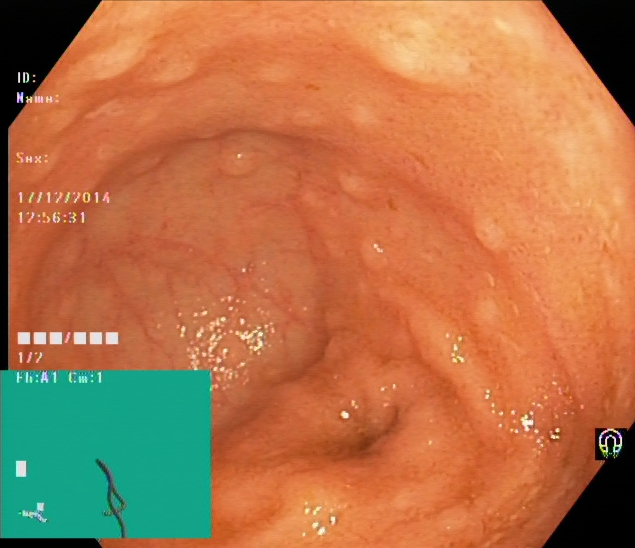Cecum.